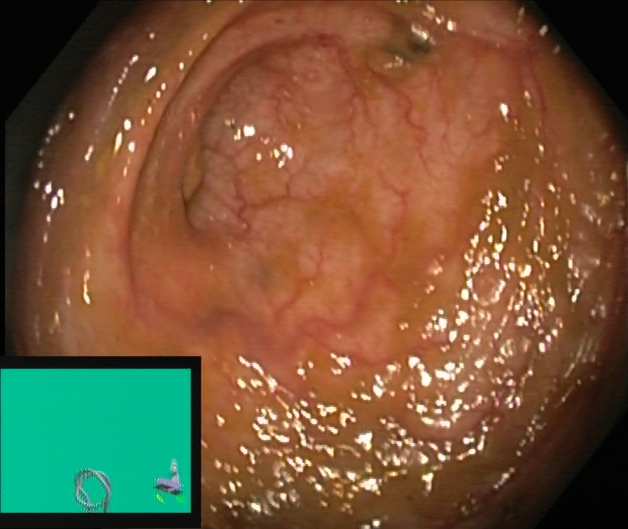This endoscopic image of the lower GI tract shows cecum.